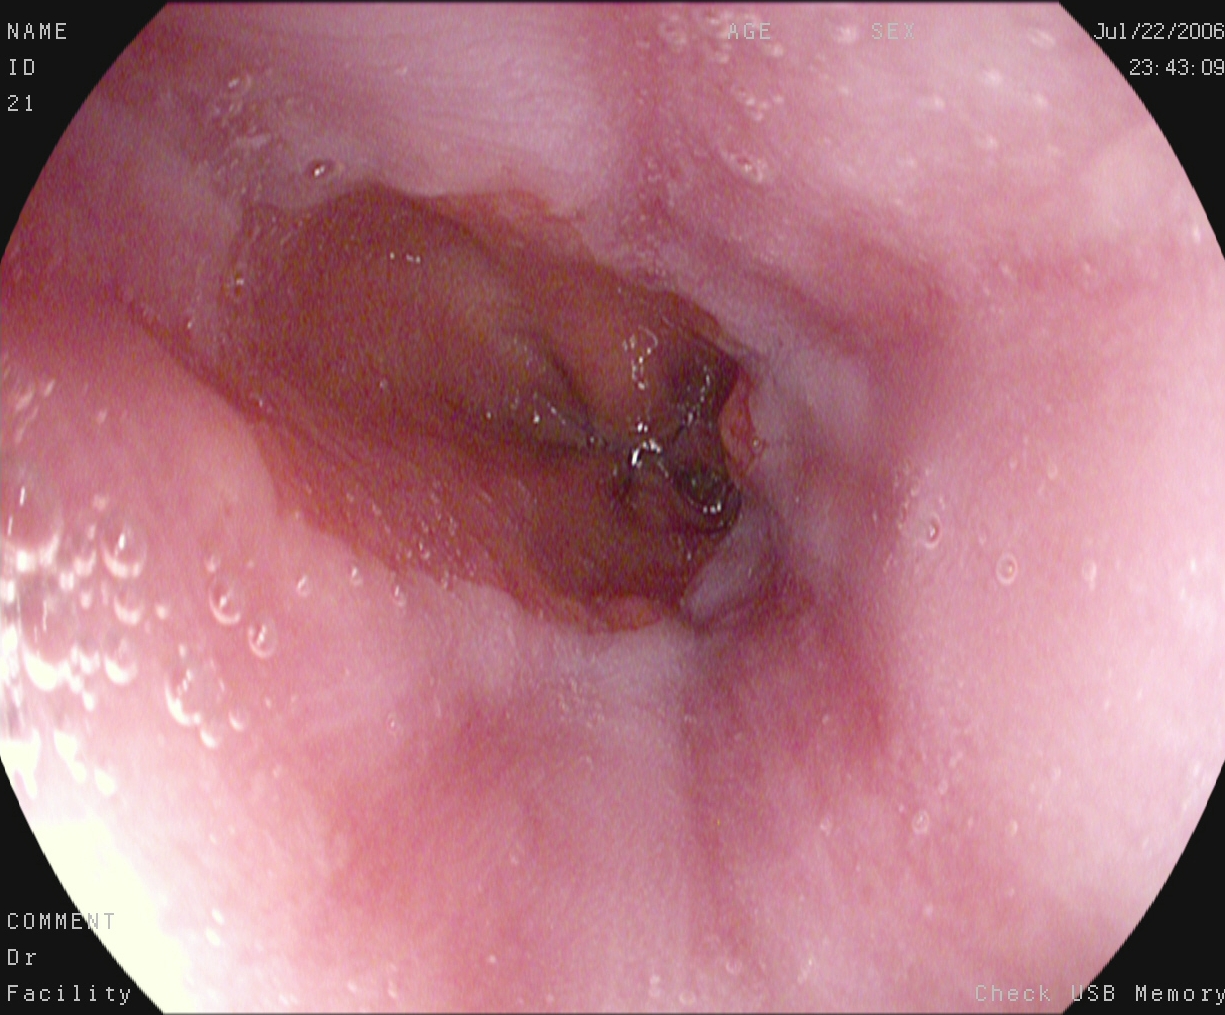EGD. Tract: upper GI tract. Finding: Z-line (gastroesophageal junction).